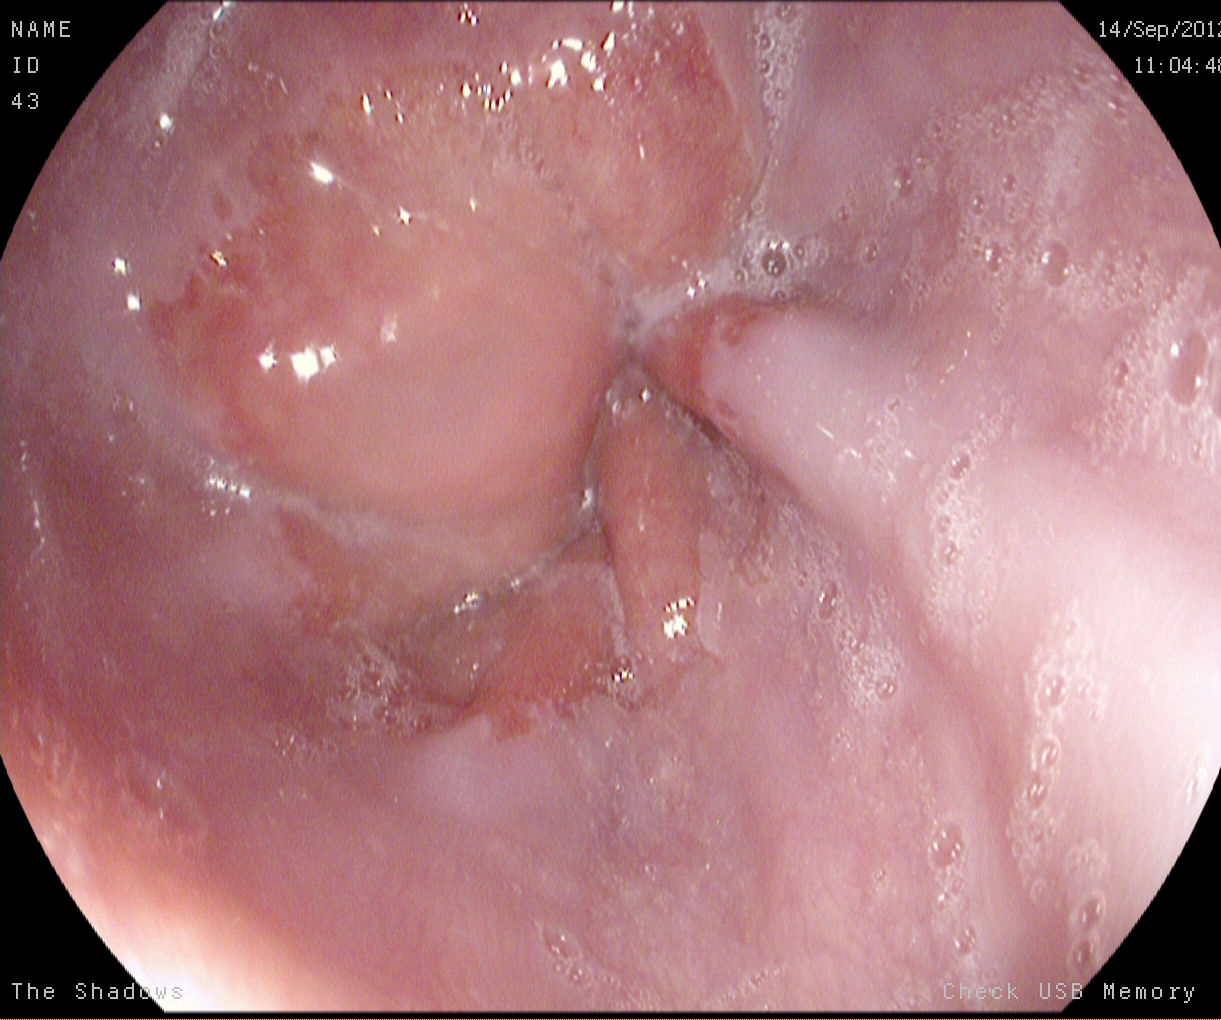modality: EGD | category: pathological finding | finding: reflux esophagitis, LA grade A